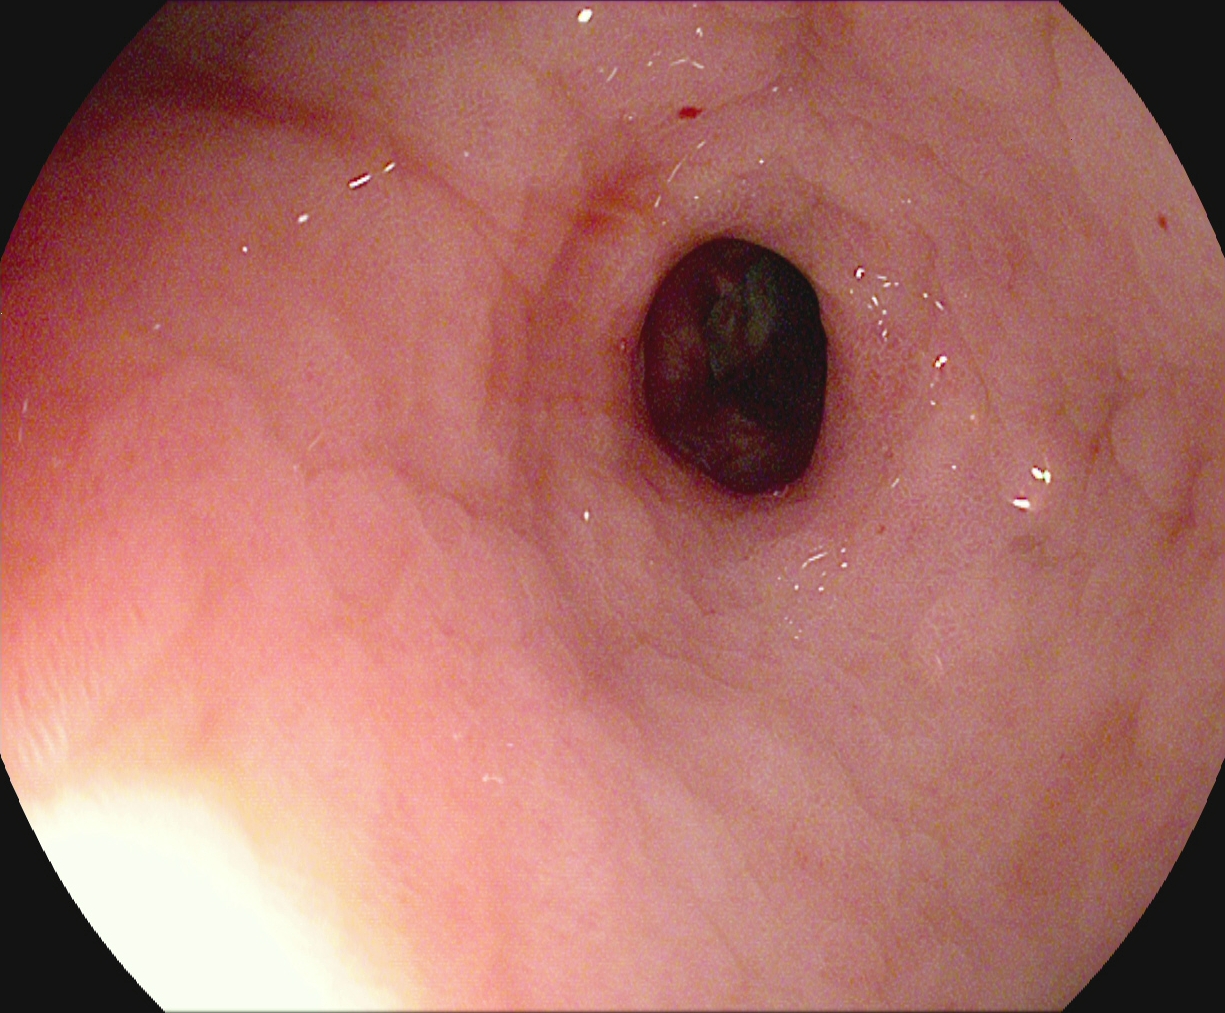PROCEDURE: EGD.
FINDINGS: Pylorus.